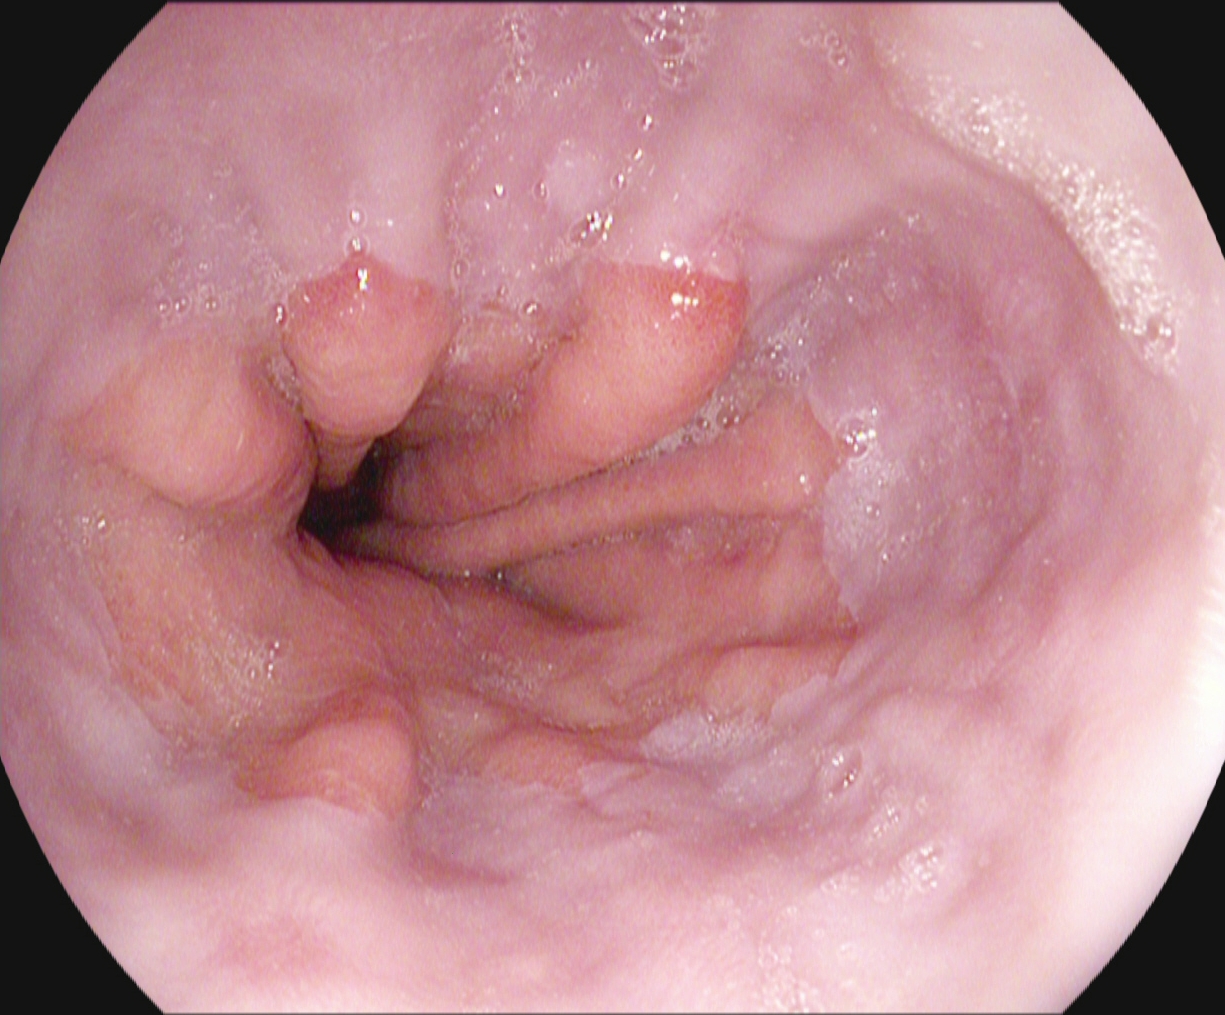PROCEDURE: Upper-GI endoscopy.
FINDINGS: Z-line (gastroesophageal junction).